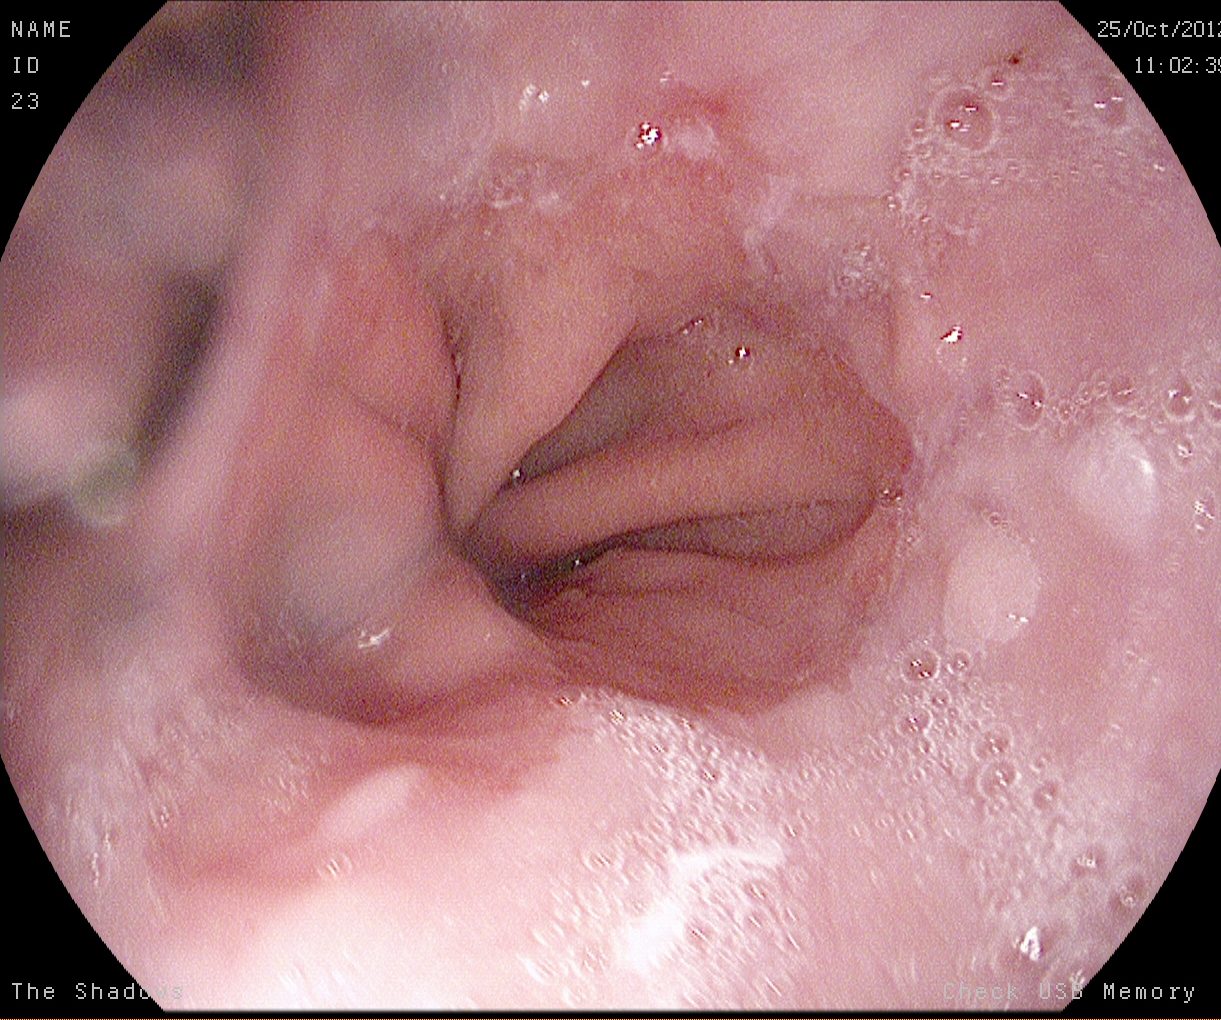Upper-GI endoscopy image showing reflux esophagitis, Los Angeles grade A.